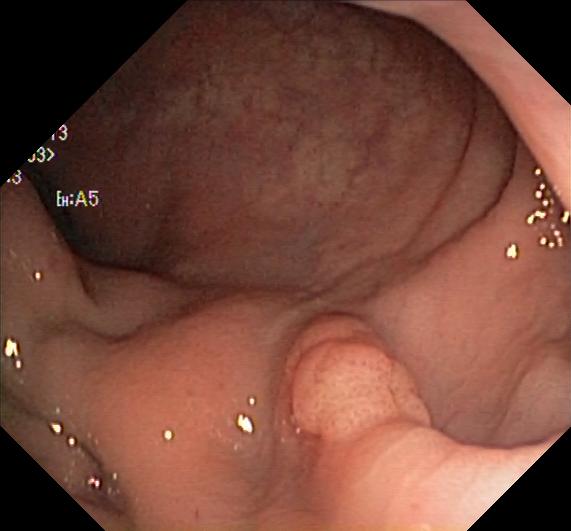Lower gastrointestinal endoscopy image of the lower GI tract showing colorectal polyp(s).